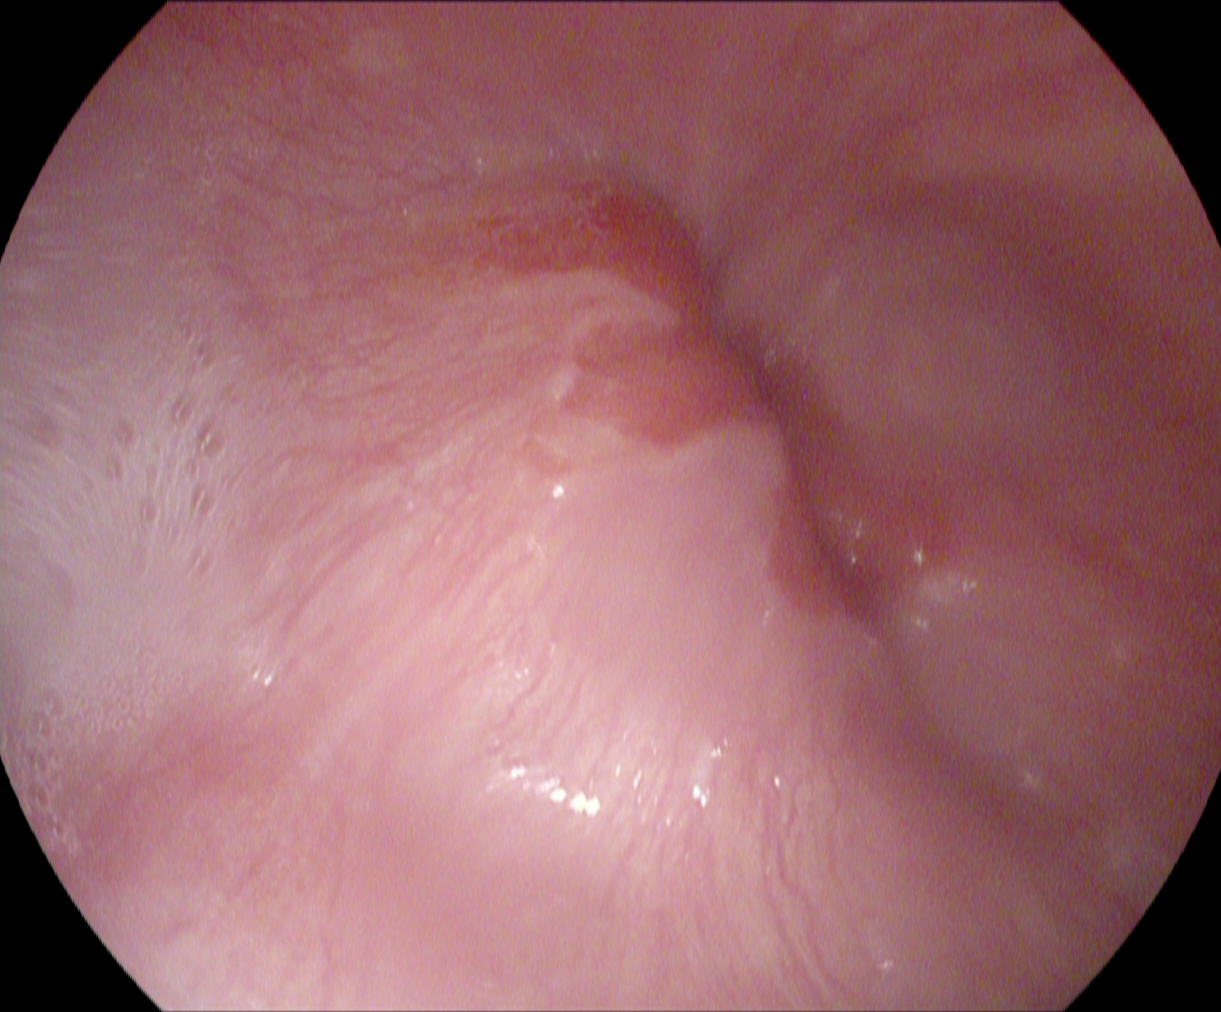Gastroscopy image of the upper GI tract showing Z-line (gastroesophageal junction).